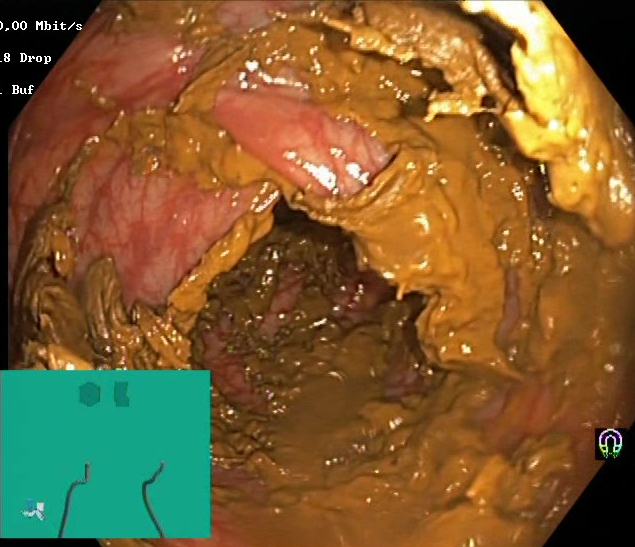Colonoscopy. Mucosal-view quality. Finding: Boston Bowel Preparation Scale score 0–1 (inadequate preparation).